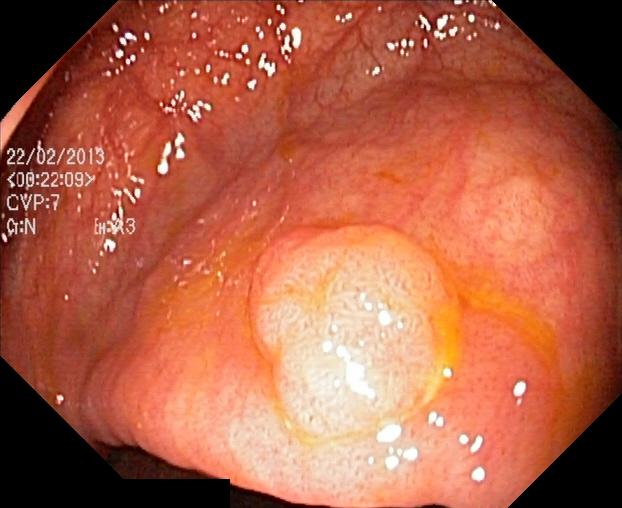{"modality": "colonoscopy", "tract": "lower GI tract", "category": "pathological finding", "finding": "colorectal polyp(s)"}